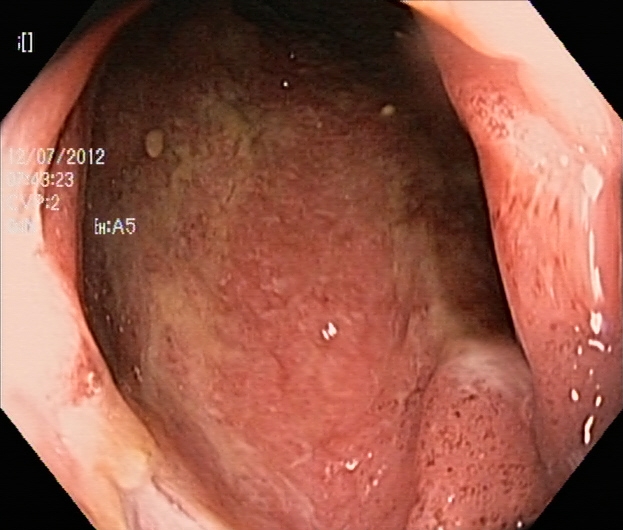modality: colonoscopy | tract: lower GI tract | category: pathological finding | finding: ulcerative colitis, Mayo endoscopic subscore 2